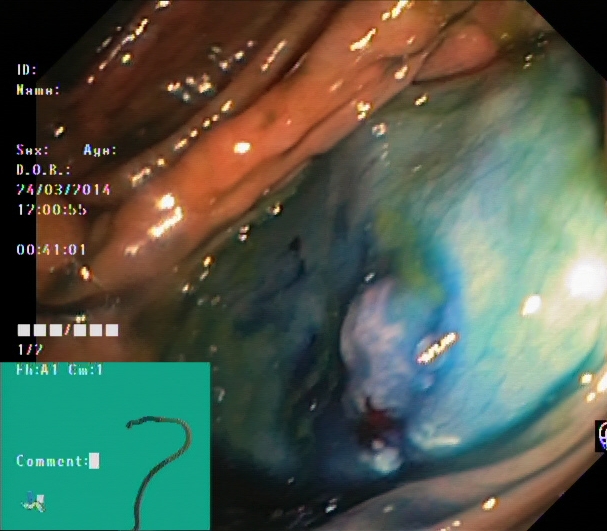Dyed and lifted polyp (pre-resection).